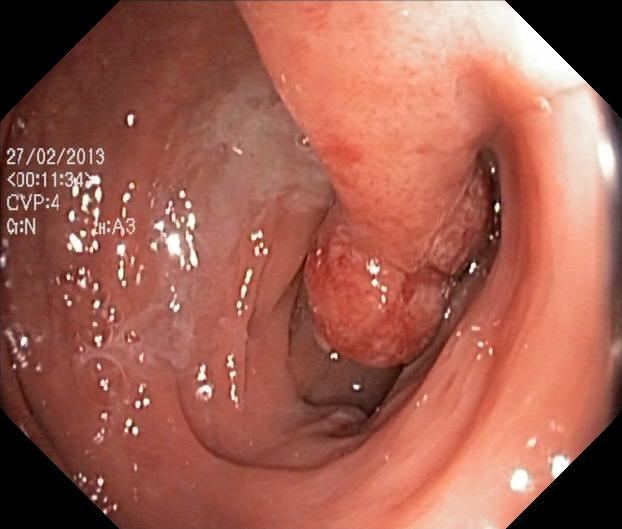Colonoscopy image showing colorectal polyp(s).